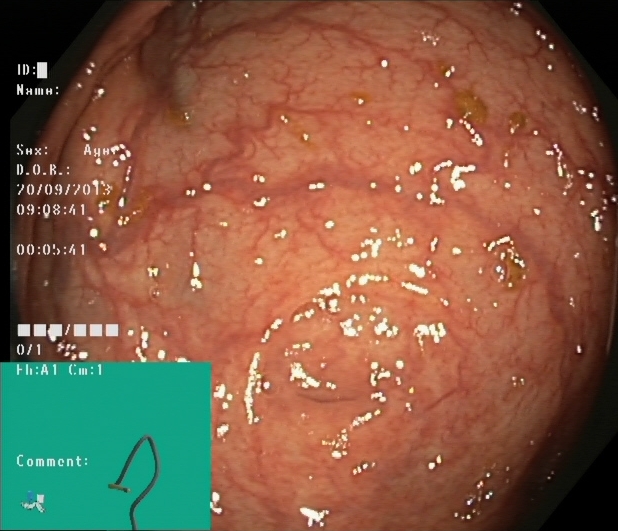{"modality": "lower-GI endoscopy", "tract": "lower GI tract", "category": "anatomical landmark", "finding": "cecum"}